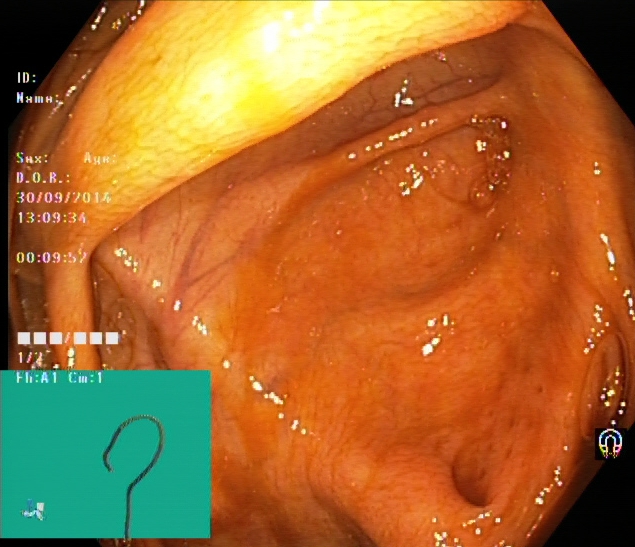modality: lower gastrointestinal endoscopy
tract: lower GI tract
category: anatomical landmark
finding: cecum